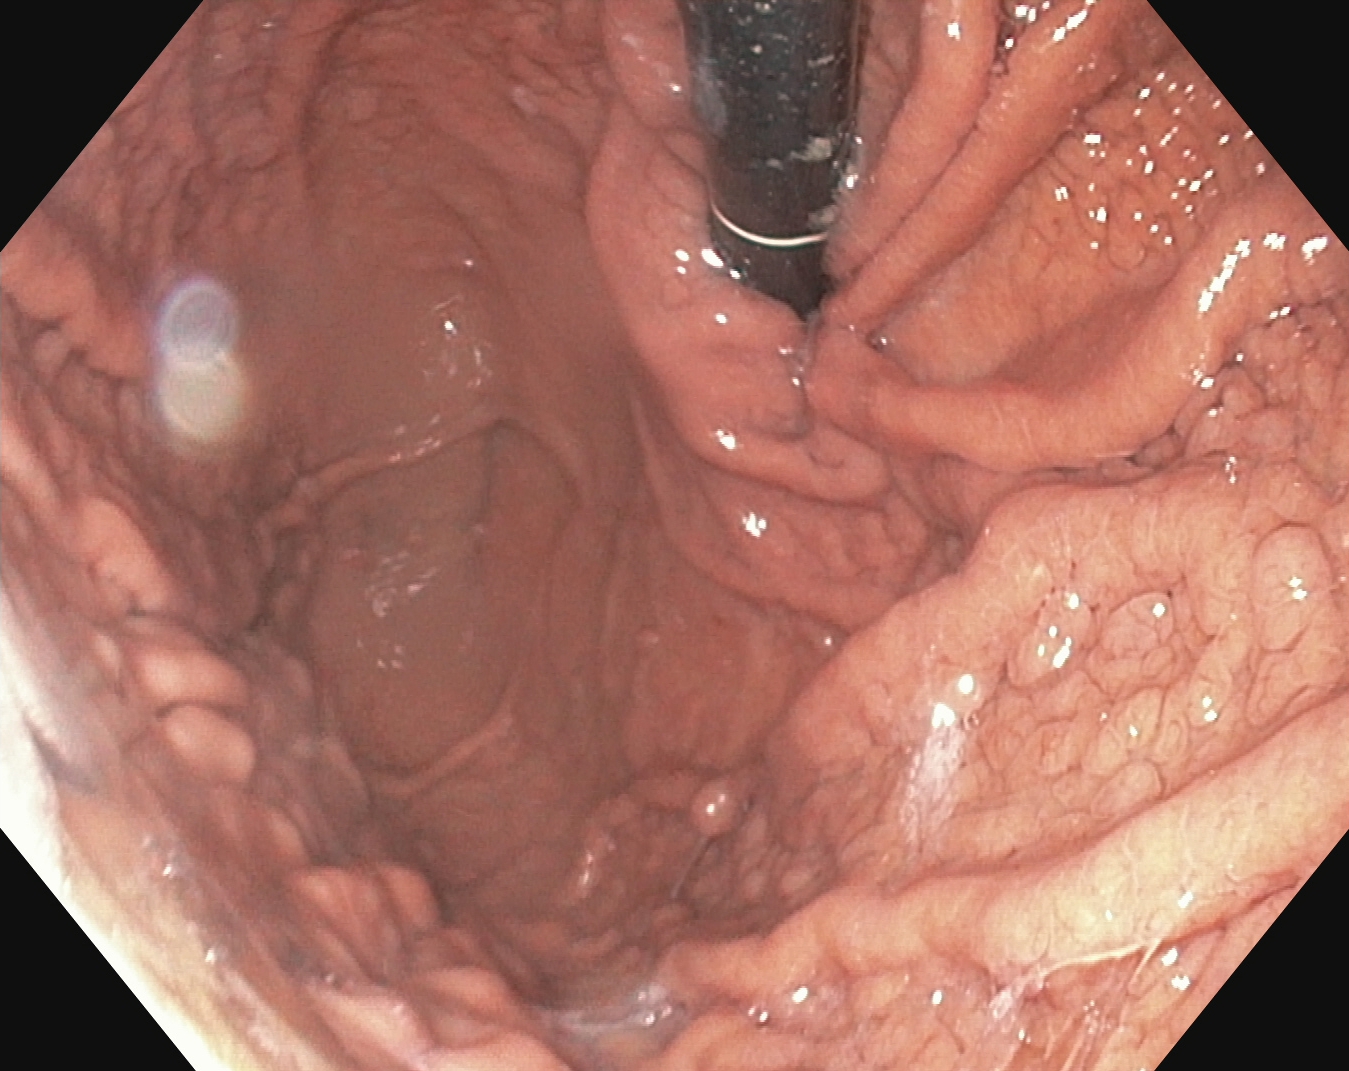PROCEDURE: EGD.
CATEGORY: Anatomical landmark.
FINDINGS: Stomach in retroflexion.